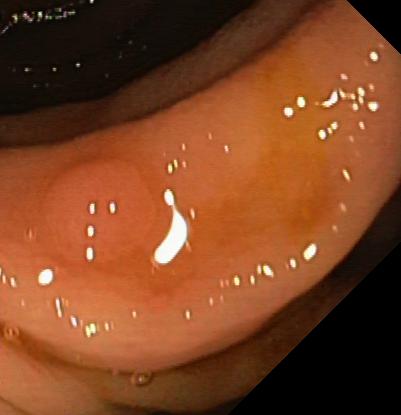GI endoscopy image showing colorectal polyp(s).